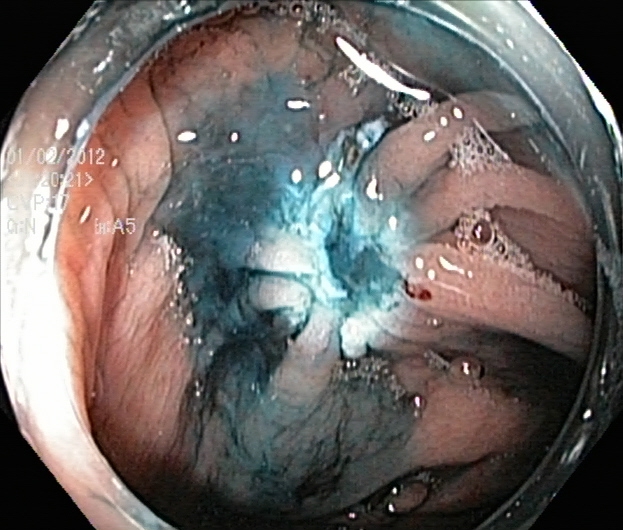{"modality": "colonoscopy", "tract": "lower GI tract", "category": "therapeutic intervention", "finding": "dyed resection margins (post-polypectomy)"}